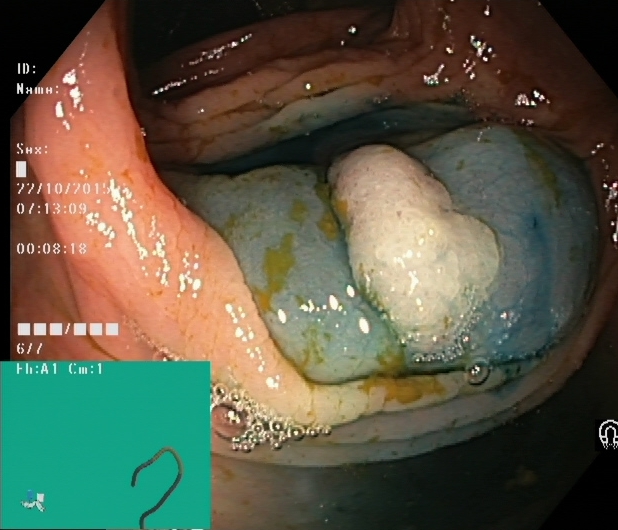Lower-GI endoscopy — dyed and lifted polyp (pre-resection).